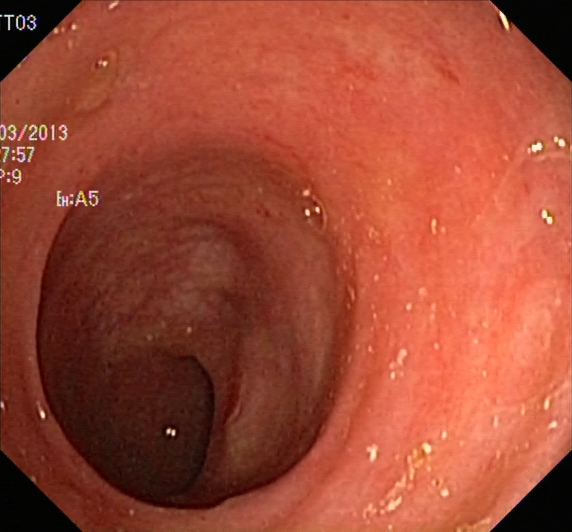This endoscopy frame of the lower GI tract shows UC, Mayo endoscopic subscore 1.